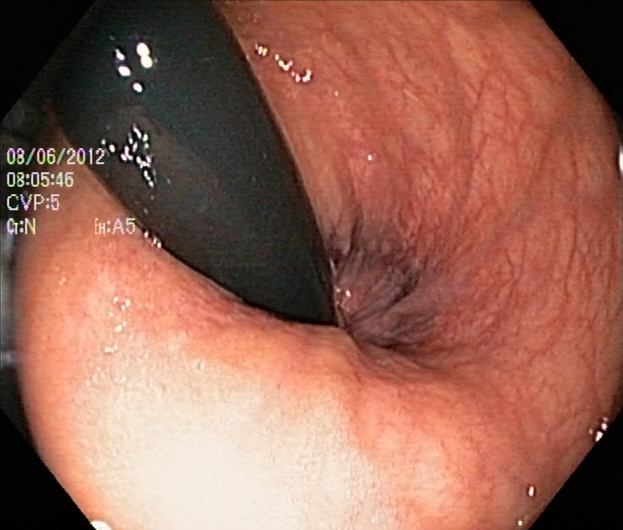{"modality": "lower-GI endoscopy", "tract": "lower GI tract", "finding": "rectum in retroflexion"}